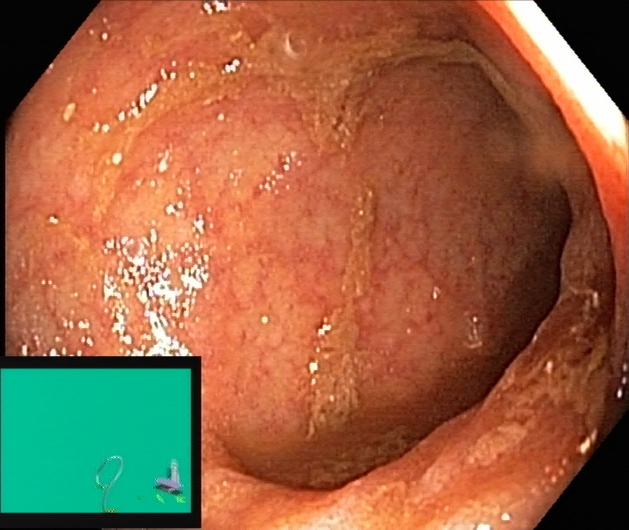This endoscopy frame of the lower GI tract shows UC, Mayo endoscopic subscore 1.